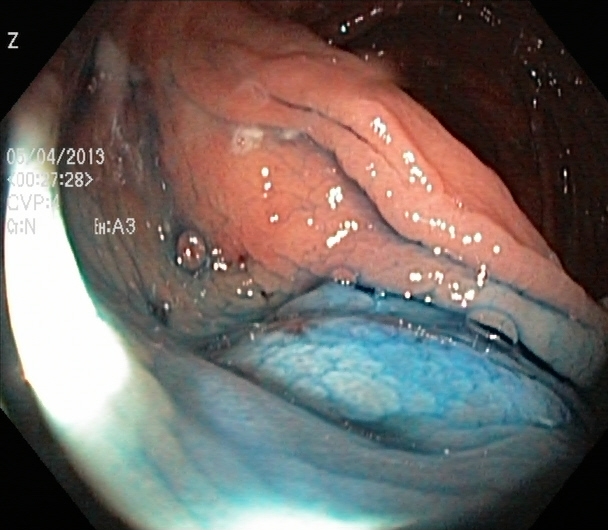PROCEDURE: Colonoscopy.
CATEGORY: Therapeutic intervention.
FINDINGS: Dyed and lifted polyp (pre-resection).